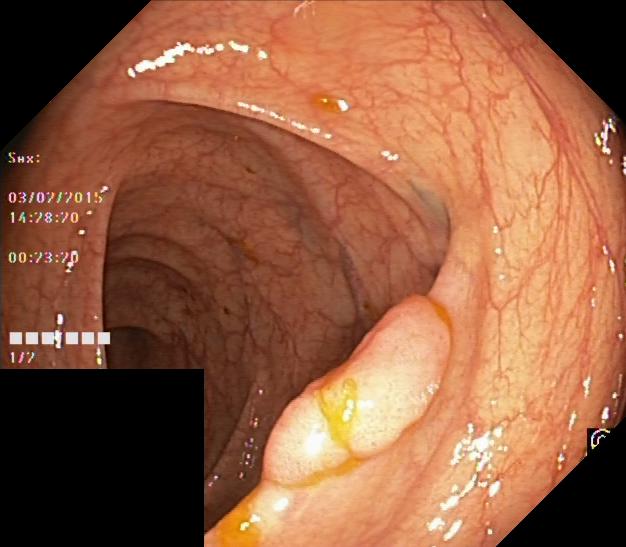Lower-GI endoscopy. Tract: lower GI tract. Finding: colorectal polyp(s).